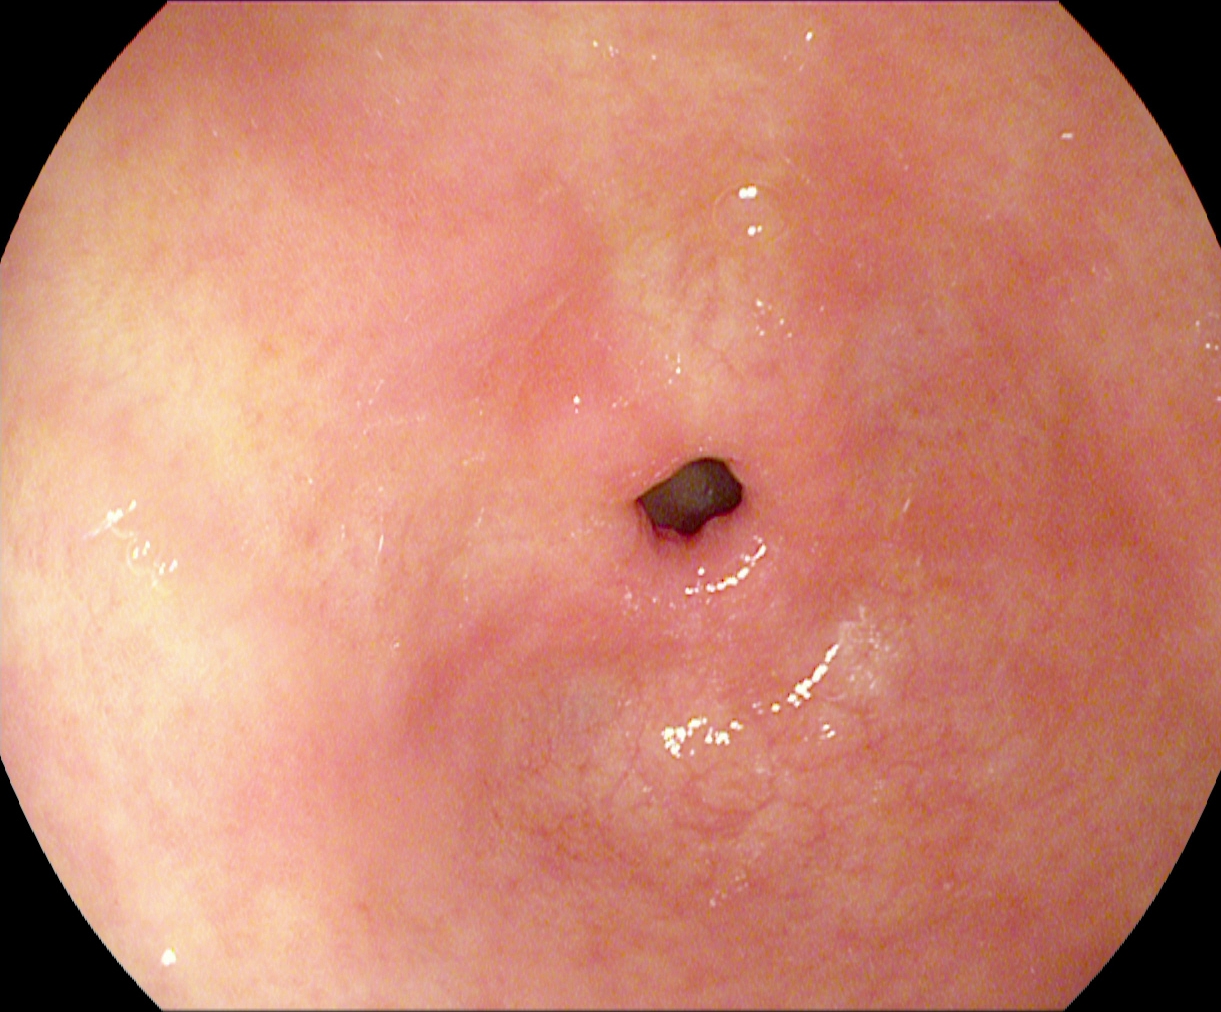This endoscopic image of the upper GI tract shows pylorus.